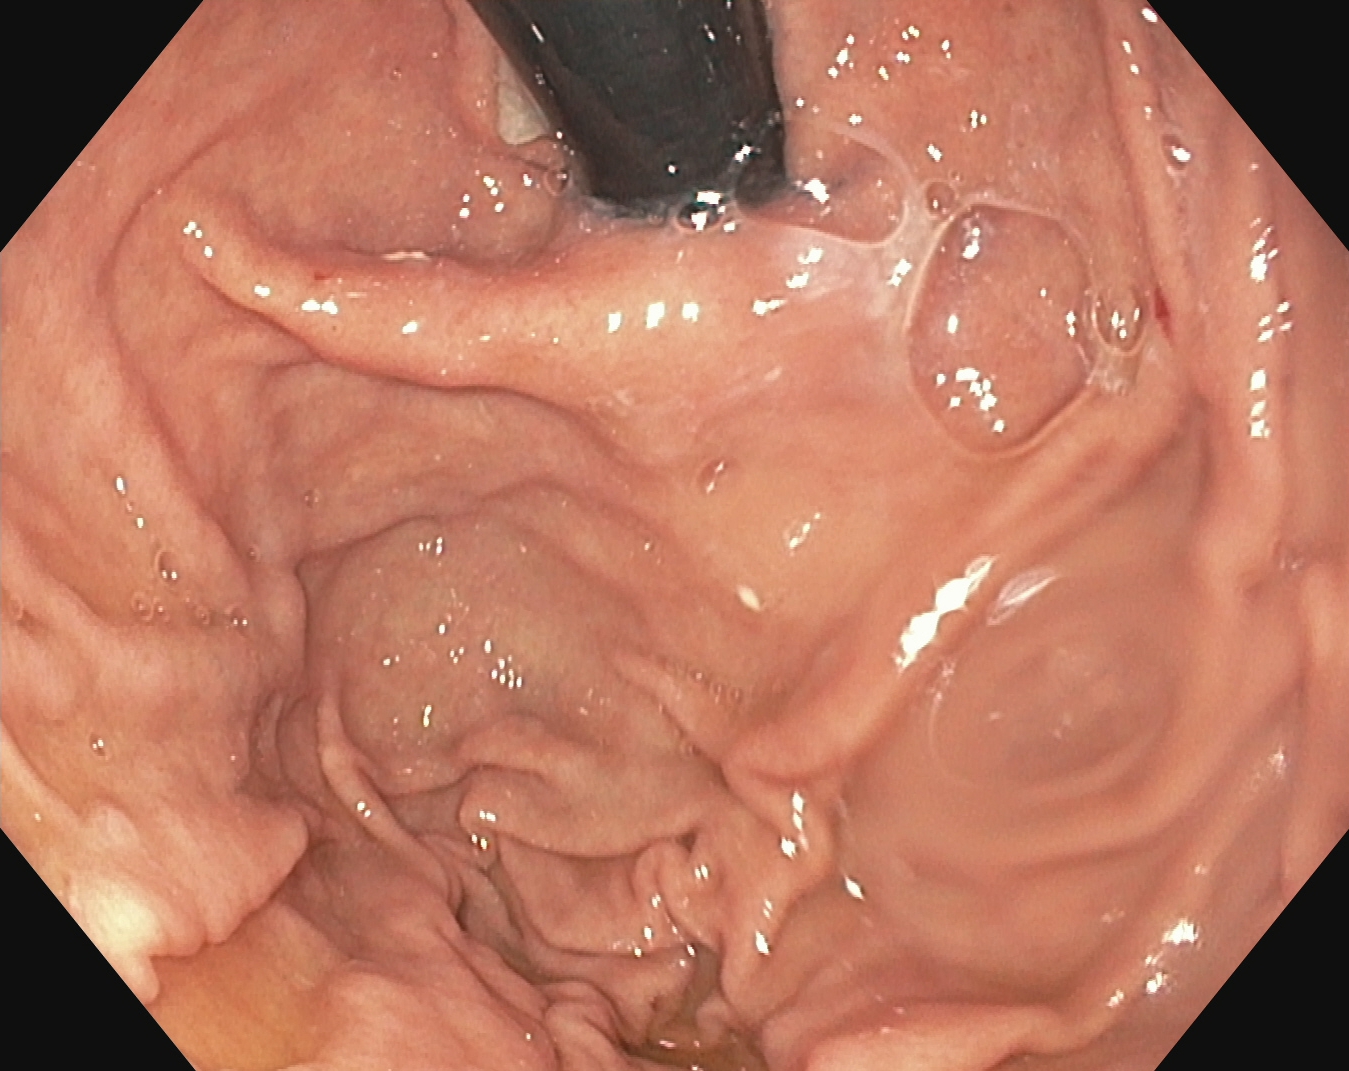PROCEDURE: Upper-GI endoscopy.
FINDINGS: Stomach in retroflexion.